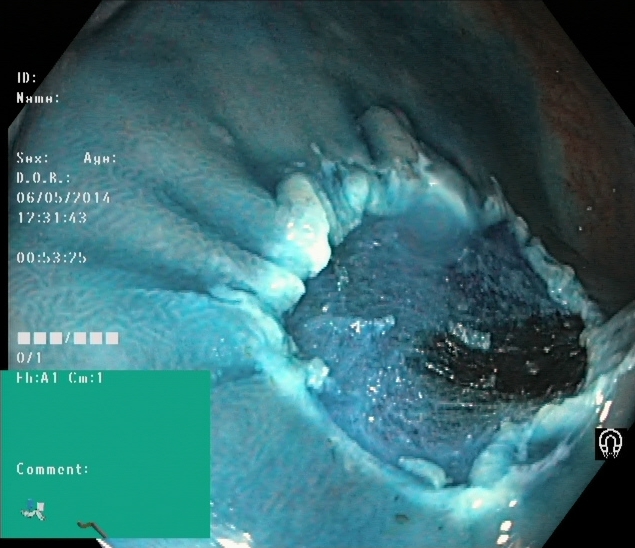PROCEDURE: Colonoscopy.
FINDINGS: Dyed resection margins (post-polypectomy).